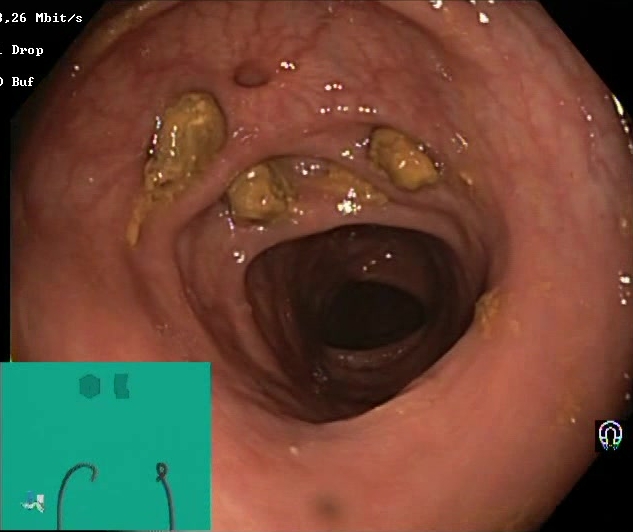Colonoscopy. Tract: lower GI tract. Finding: impacted stool.